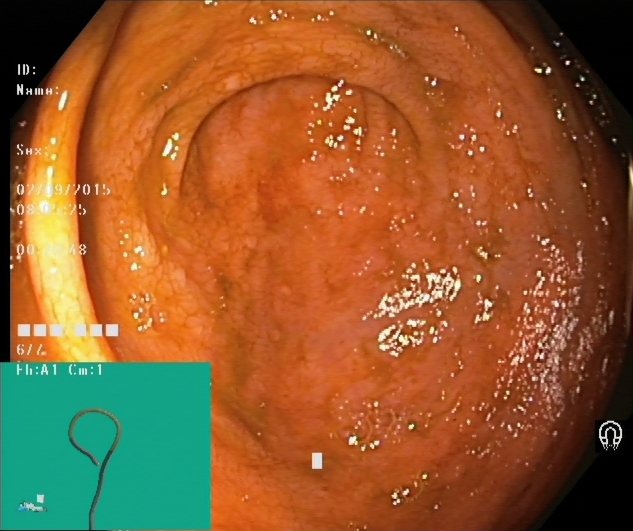Cecum.